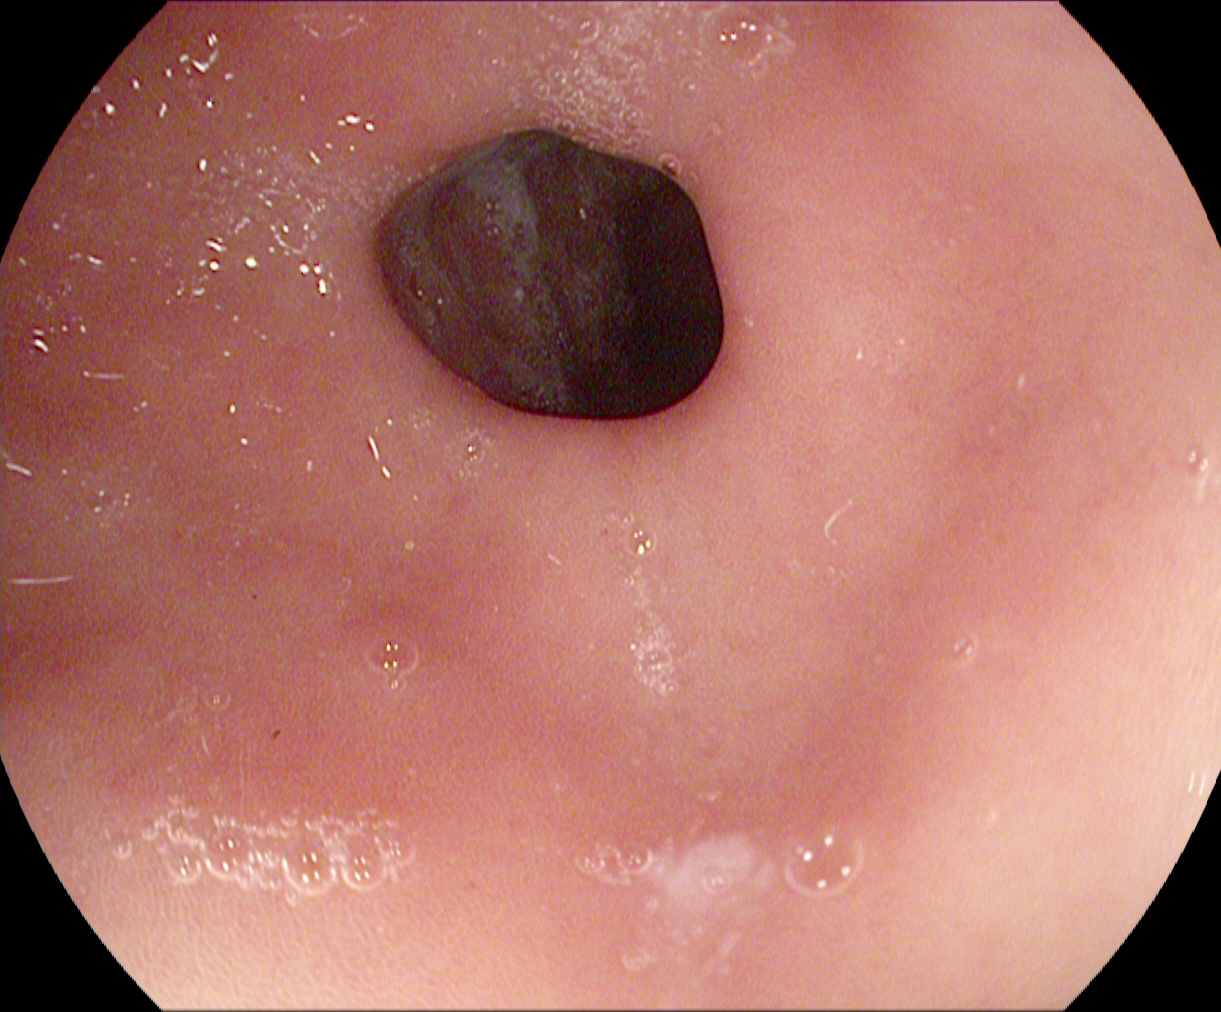Pylorus.